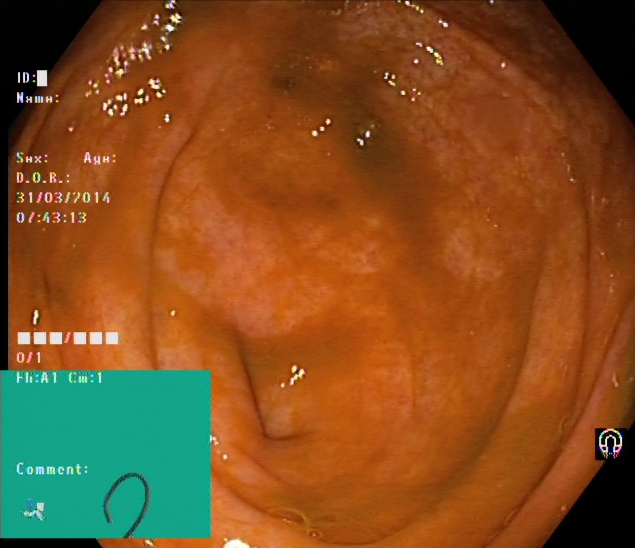GI endoscopy image of the lower GI tract showing cecum.